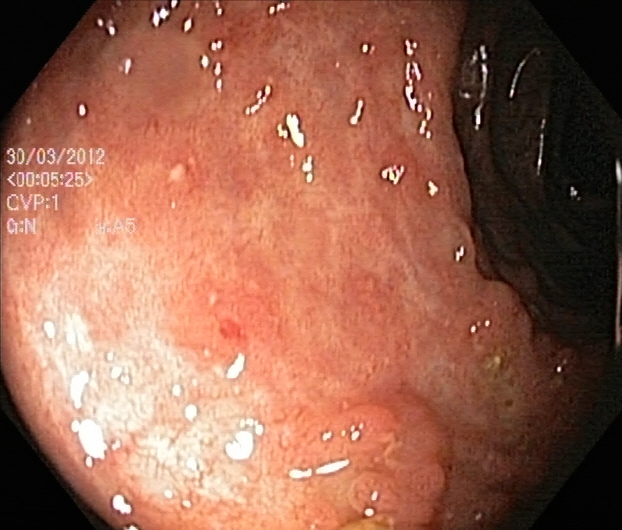{"modality": "lower gastrointestinal endoscopy", "finding": "colorectal polyp(s)"}